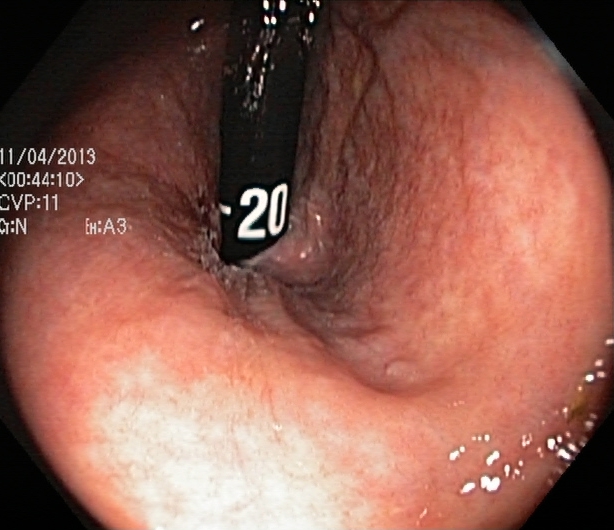modality: colonoscopy; category: anatomical landmark; finding: rectum in retroflexion